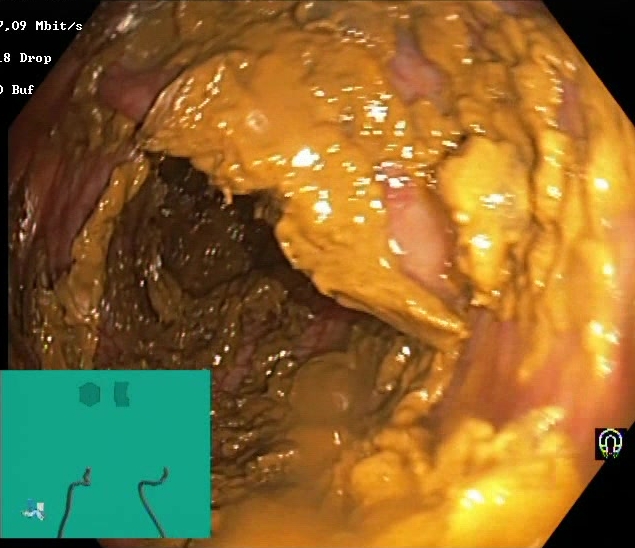Lower-GI endoscopy. Tract: lower GI tract. Mucosal-view quality. Finding: BBPS score 0–1 (inadequate preparation).